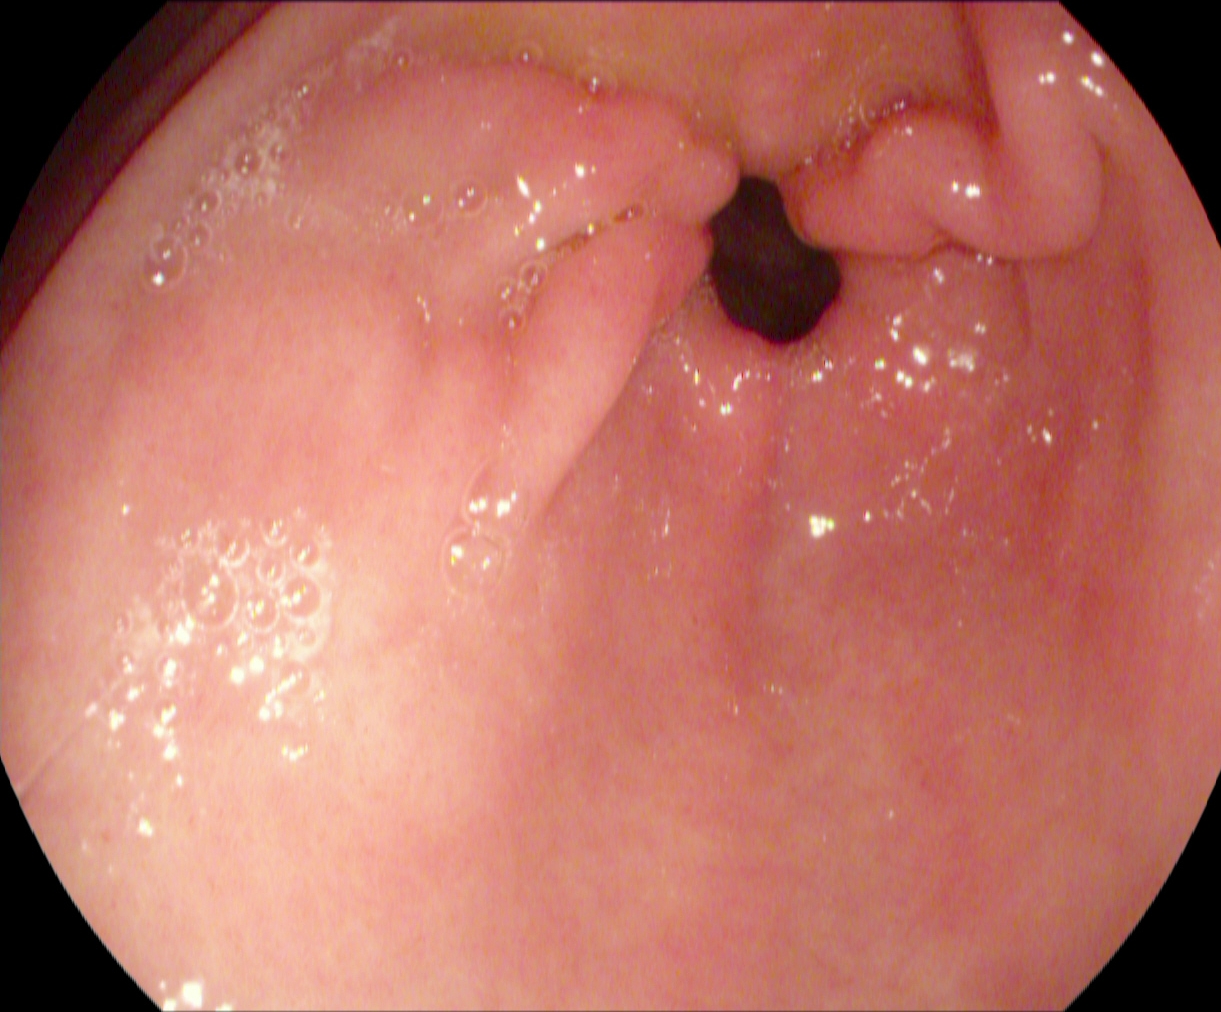EGD. Tract: upper GI tract. Finding: pylorus.